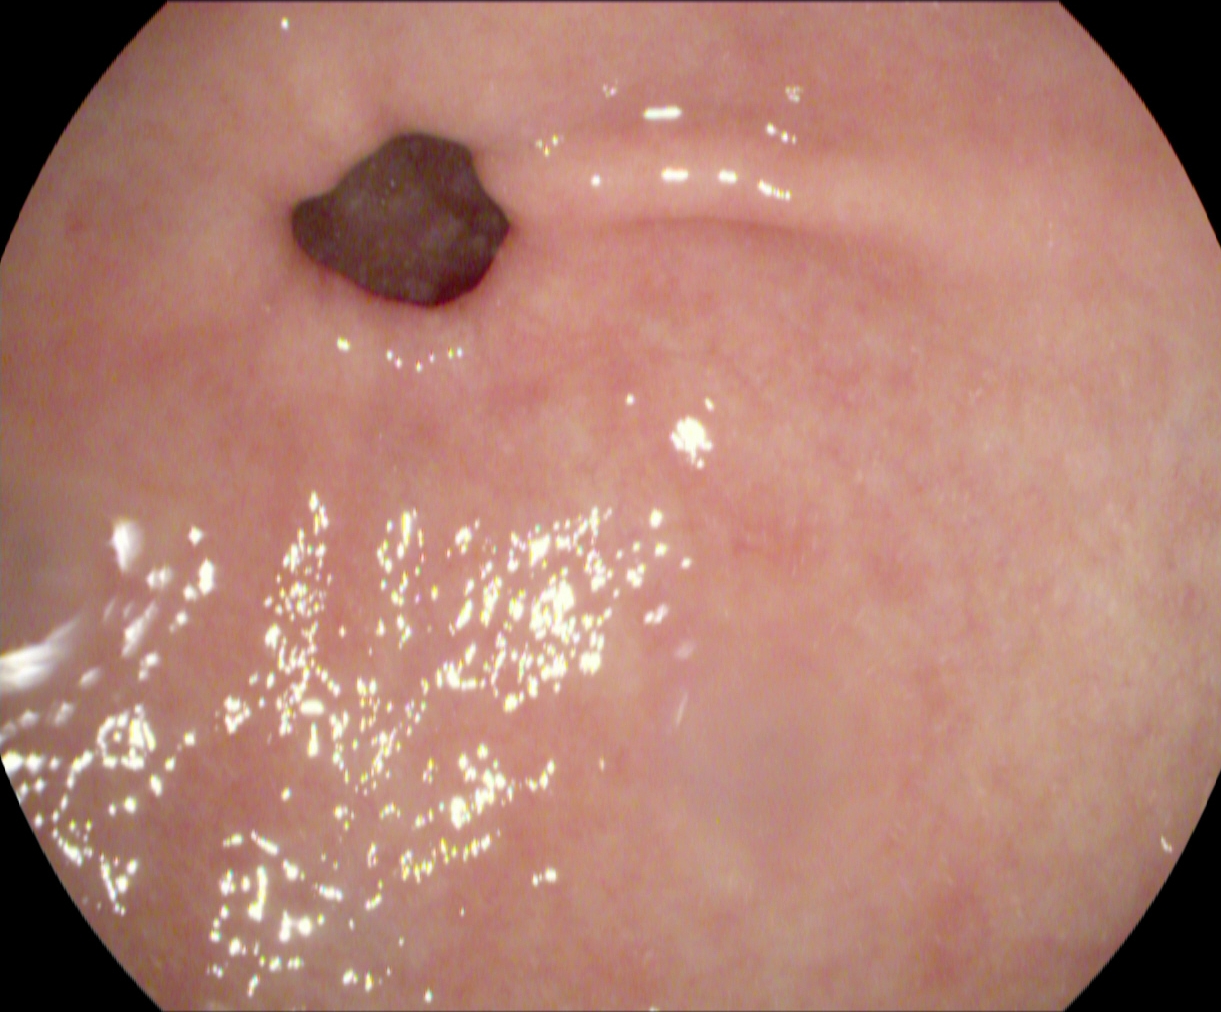Esophagogastroduodenoscopy. Anatomical landmark. Finding: pylorus.